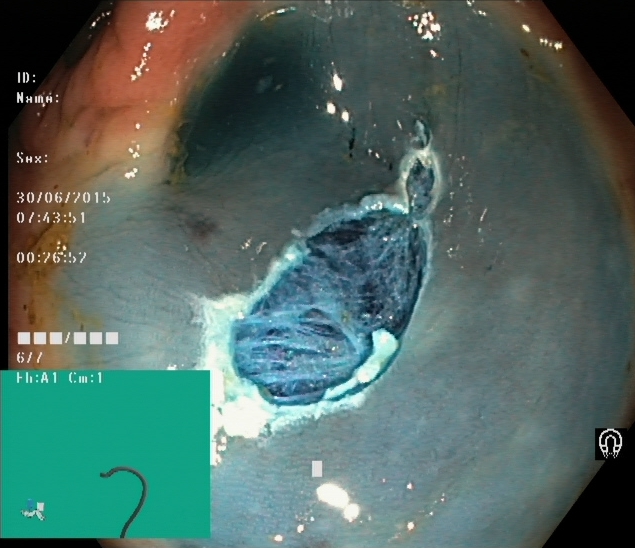Colonoscopy — dyed resection margins (post-polypectomy).